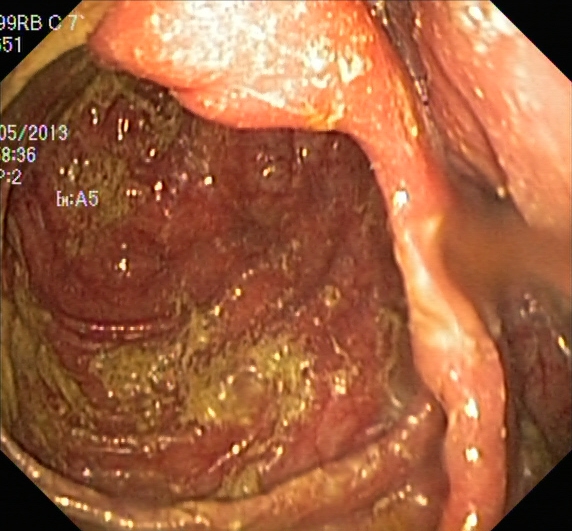Boston Bowel Preparation Scale score 0–1 (inadequate preparation).